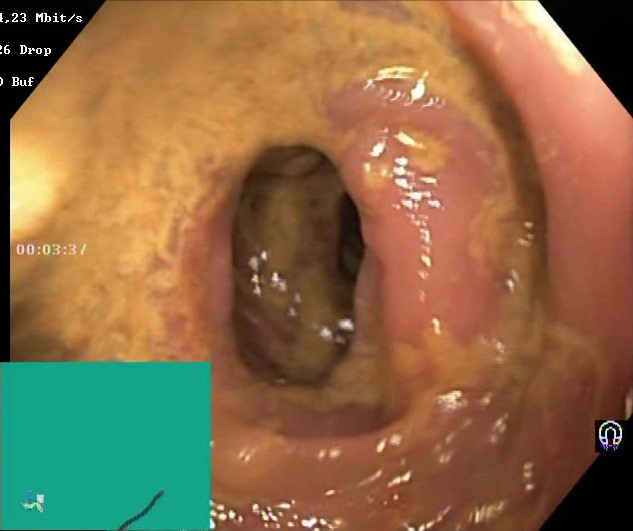modality: lower-GI endoscopy
tract: lower GI tract
finding: BBPS score 0–1 (inadequate preparation)